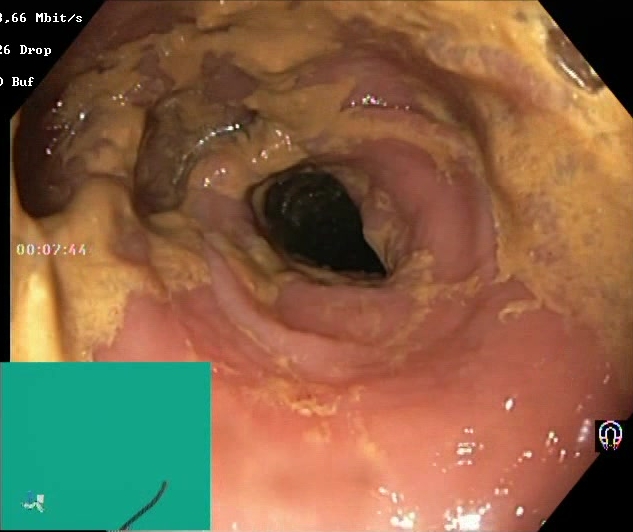This endoscopic image shows Boston Bowel Preparation Scale score 0–1 (inadequate preparation).